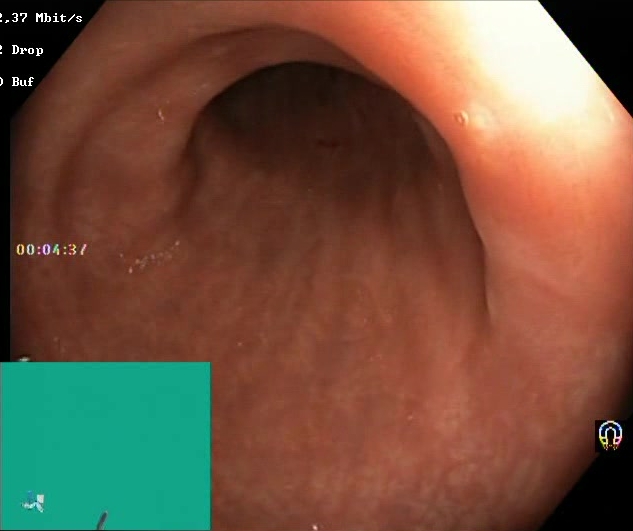Lower gastrointestinal endoscopy. Tract: lower GI tract. Finding: BBPS score 2–3 (adequate preparation).